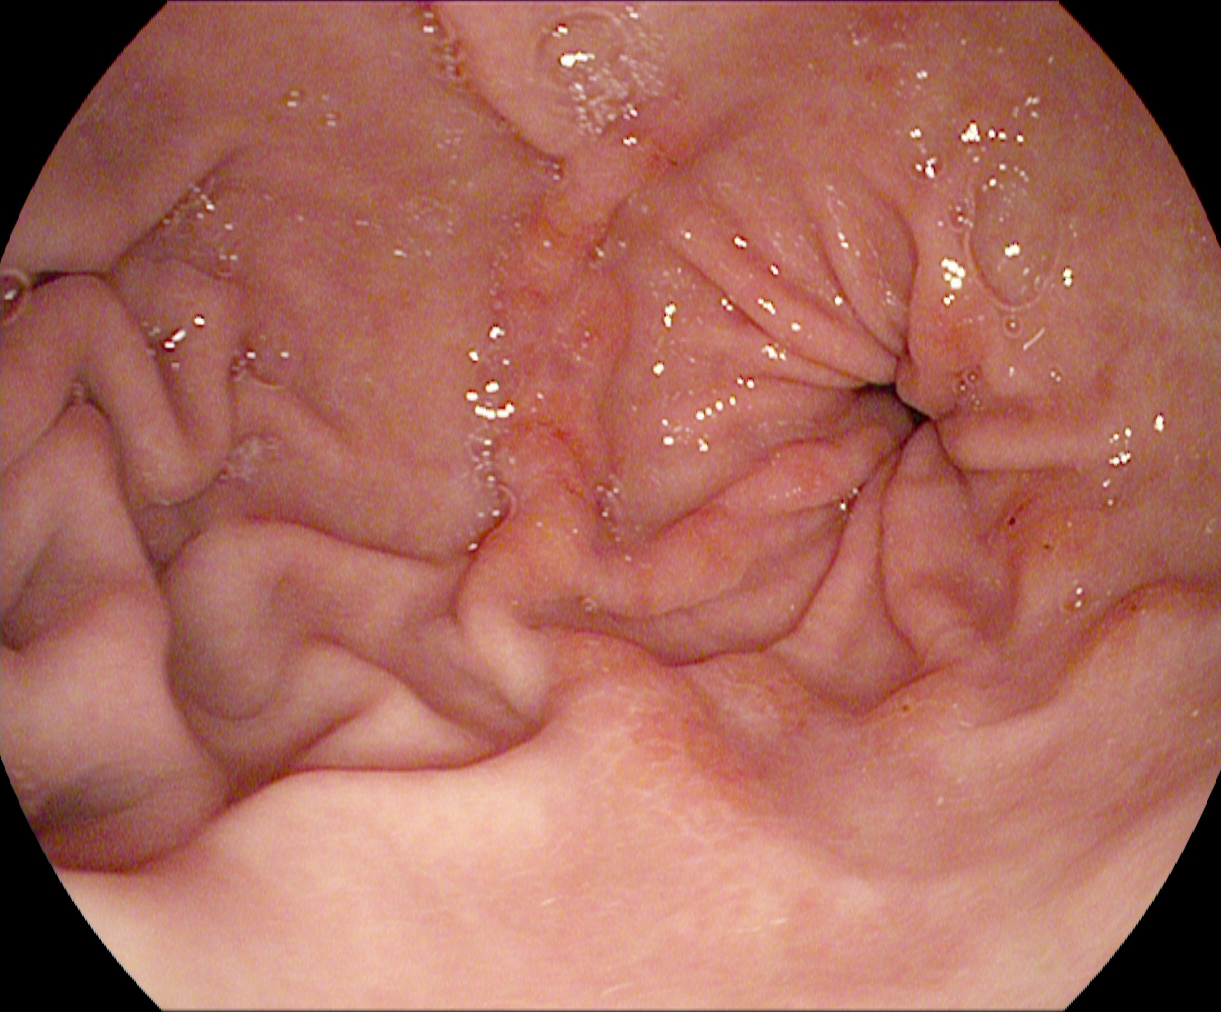Pylorus.